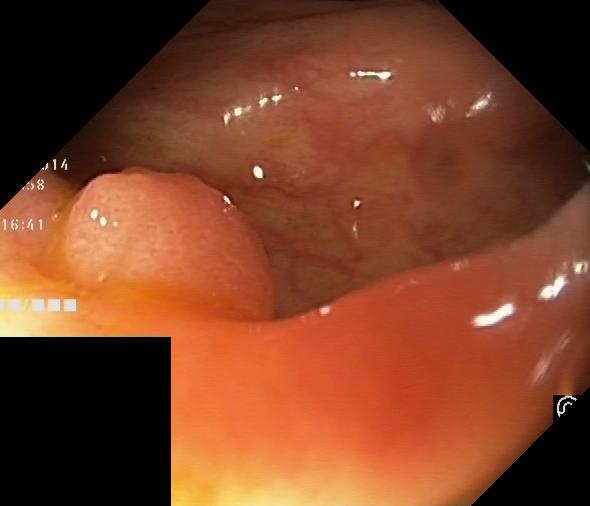Colorectal polyp(s).